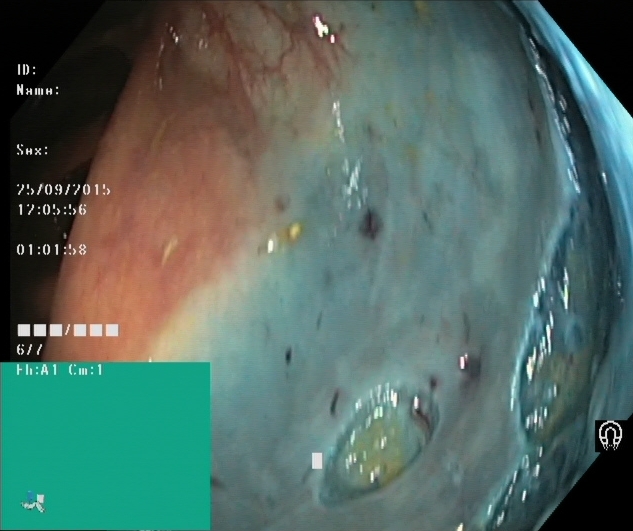This endoscopic image of the lower GI tract shows dyed resection margins (post-polypectomy).